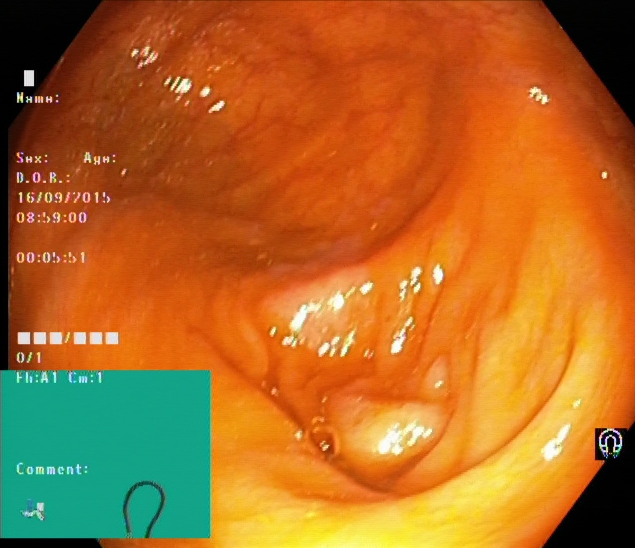modality: colonoscopy | tract: lower GI tract | category: anatomical landmark | finding: cecum